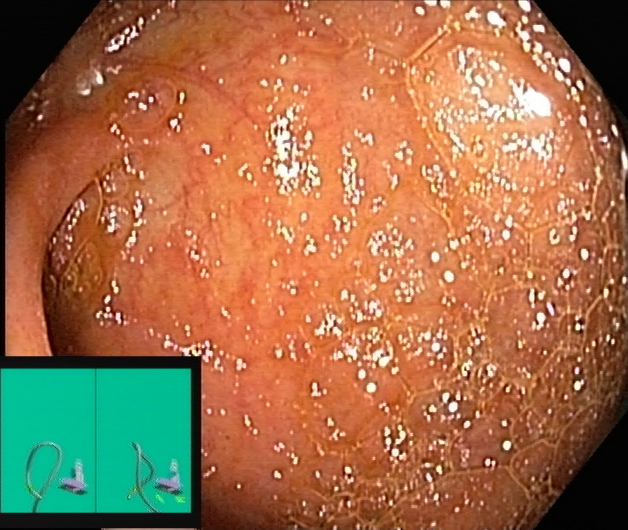Lower gastrointestinal endoscopy. Tract: lower GI tract. Finding: cecum.